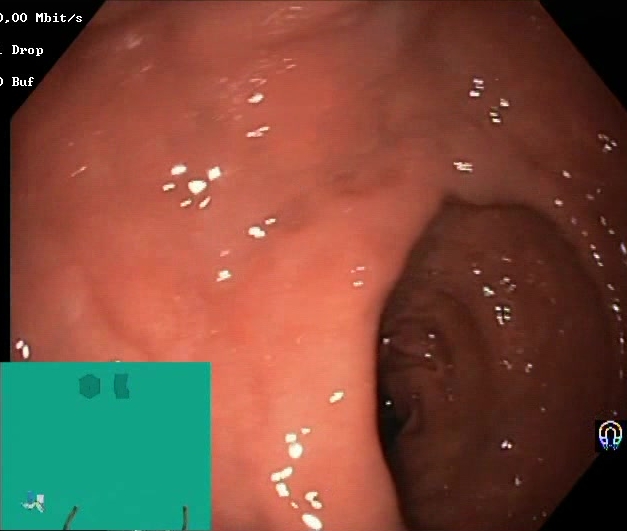This endoscopic image shows BBPS score 2–3 (adequate preparation).